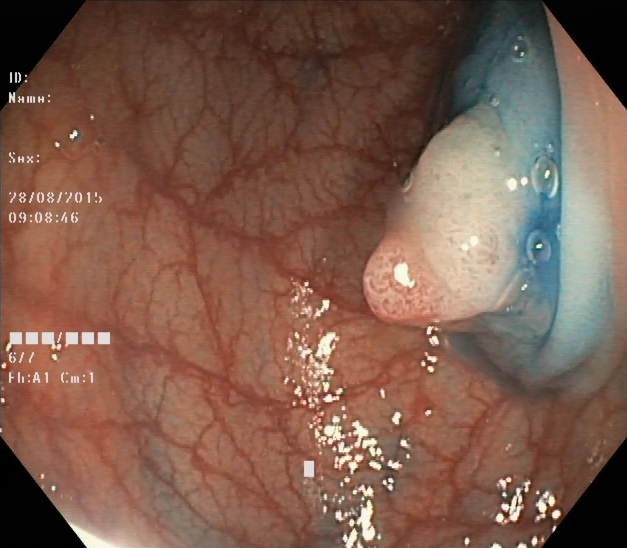modality: lower-GI endoscopy; tract: lower GI tract; finding: dyed and lifted polyp (pre-resection)